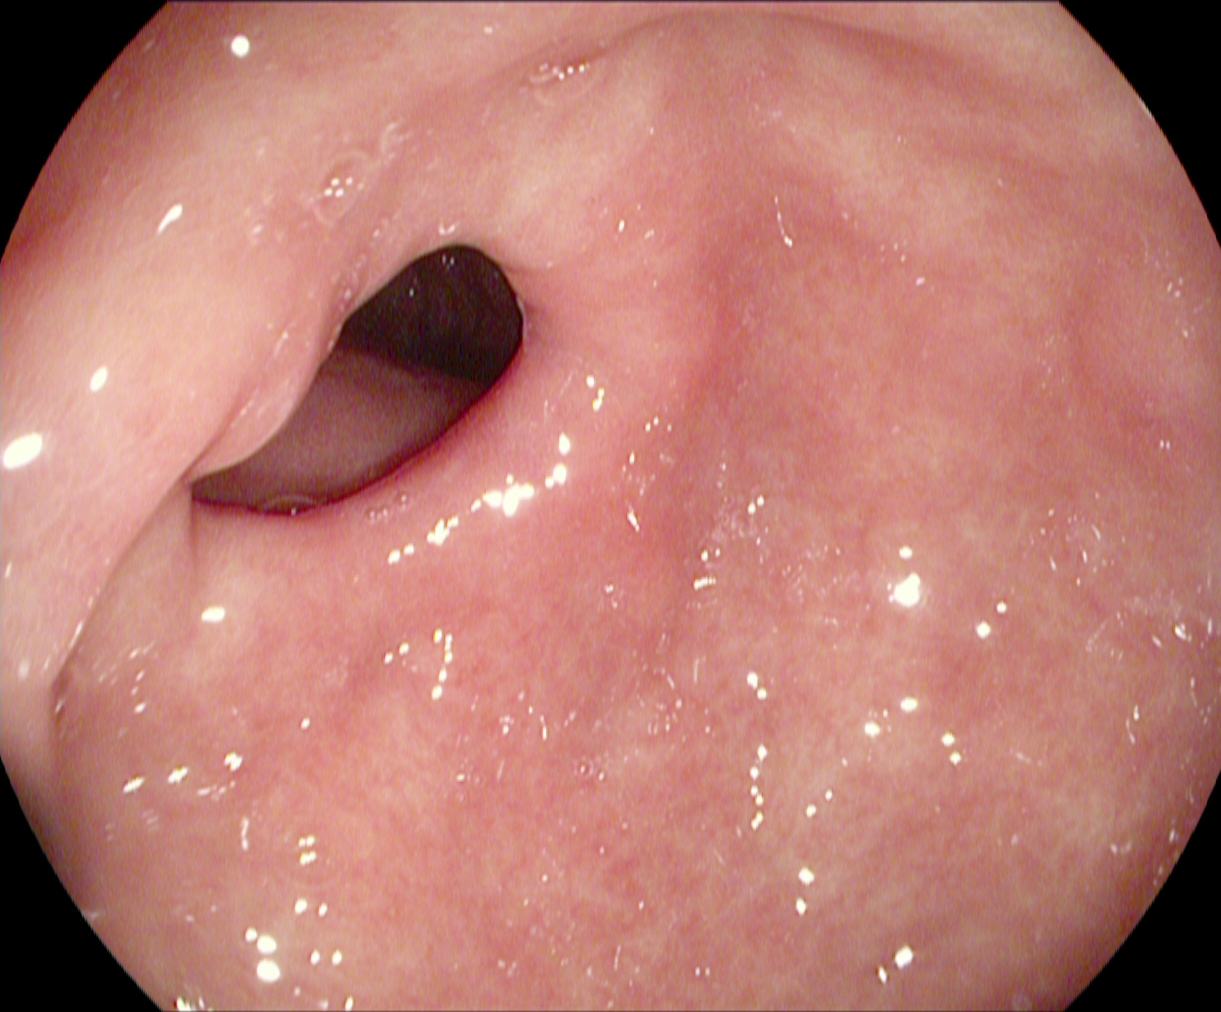This endoscopic image shows pylorus.